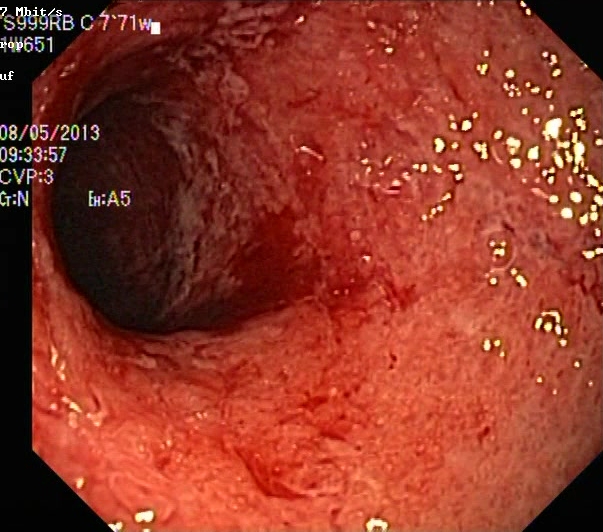{"modality": "lower-GI endoscopy", "tract": "lower GI tract", "category": "pathological finding", "finding": "ulcerative colitis, Mayo endoscopic subscore 3"}